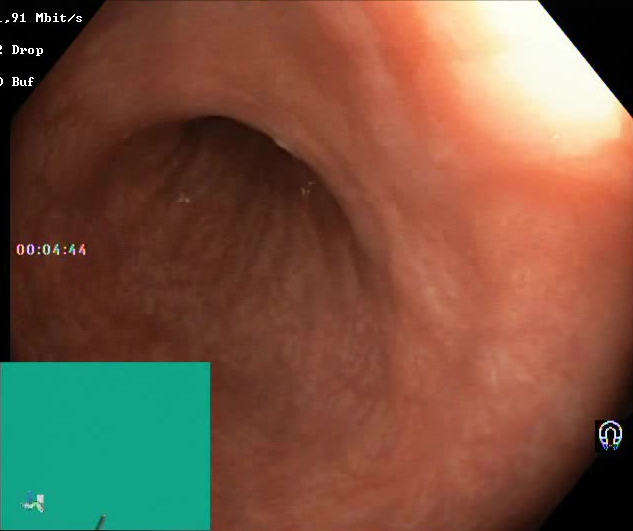PROCEDURE: Lower-GI endoscopy.
CATEGORY: Mucosal-view quality.
FINDINGS: BBPS score 2–3 (adequate preparation).